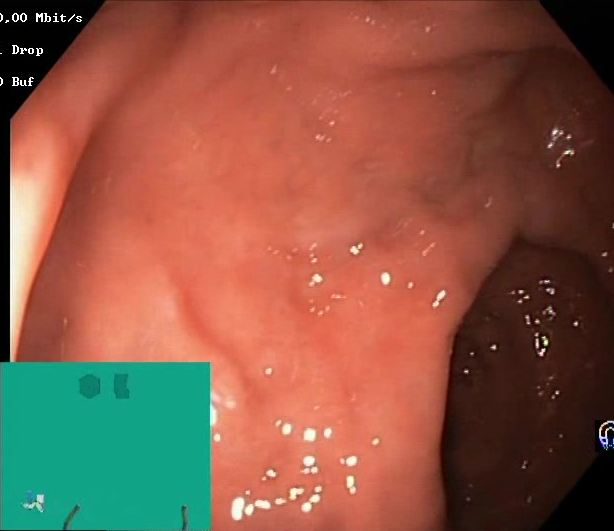Colonoscopy. Mucosal-view quality. Finding: Boston Bowel Preparation Scale score 2–3 (adequate preparation).